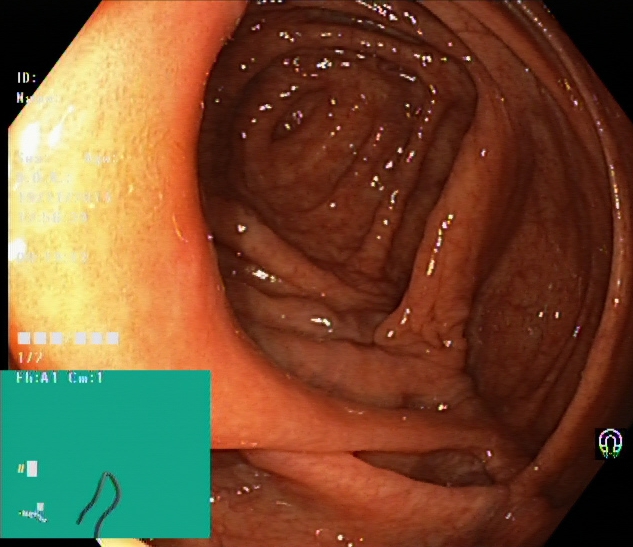Lower gastrointestinal endoscopy. Tract: lower GI tract. Finding: cecum.